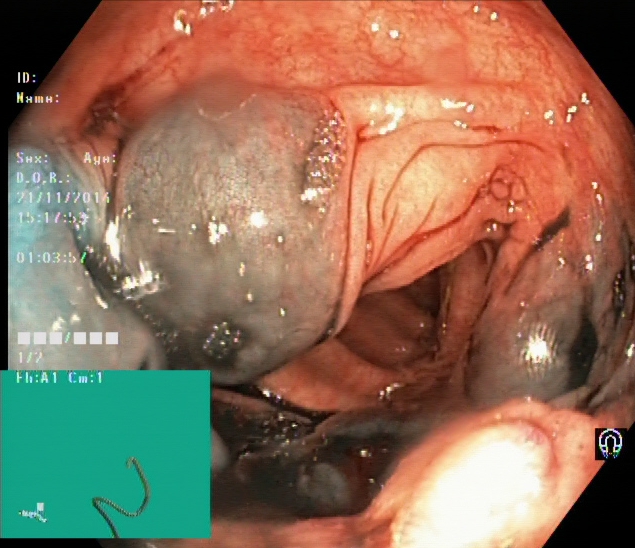Lower-GI endoscopy — dyed and lifted polyp (pre-resection).